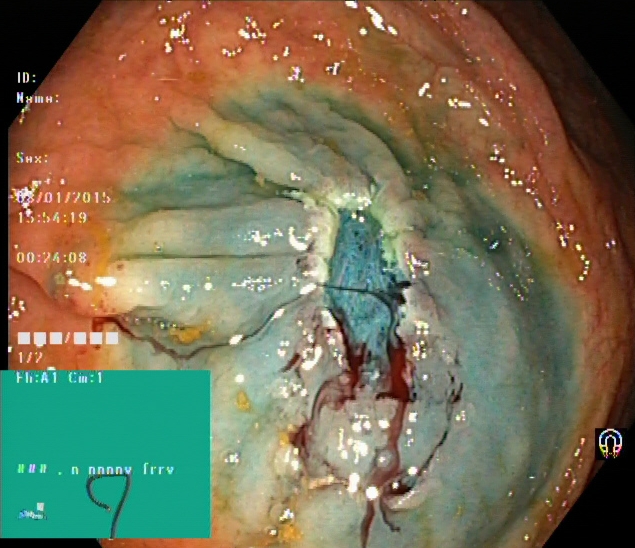Lower gastrointestinal endoscopy. Tract: lower GI tract. Finding: dyed resection margins (post-polypectomy).